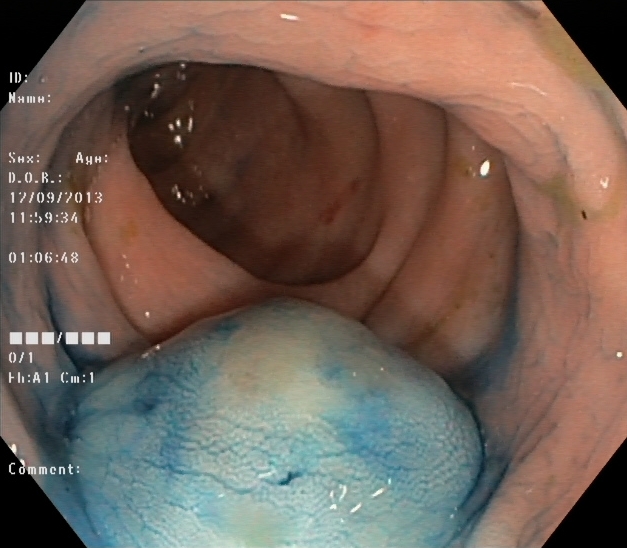Colonoscopy. Finding: dyed and lifted polyp (pre-resection).